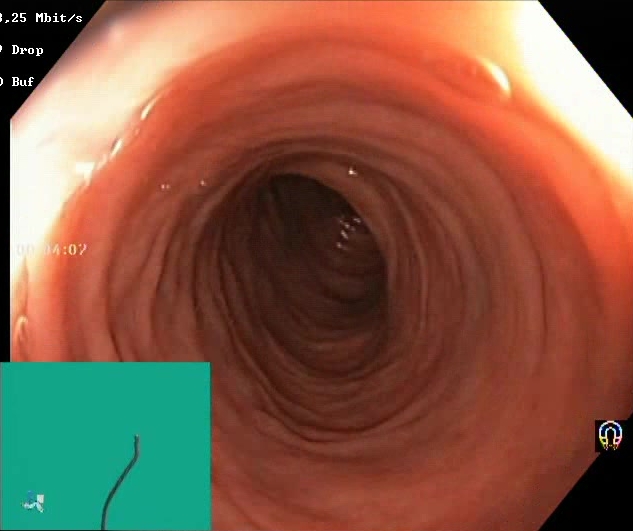Endoscopic image showing Boston Bowel Preparation Scale score 2–3 (adequate preparation).